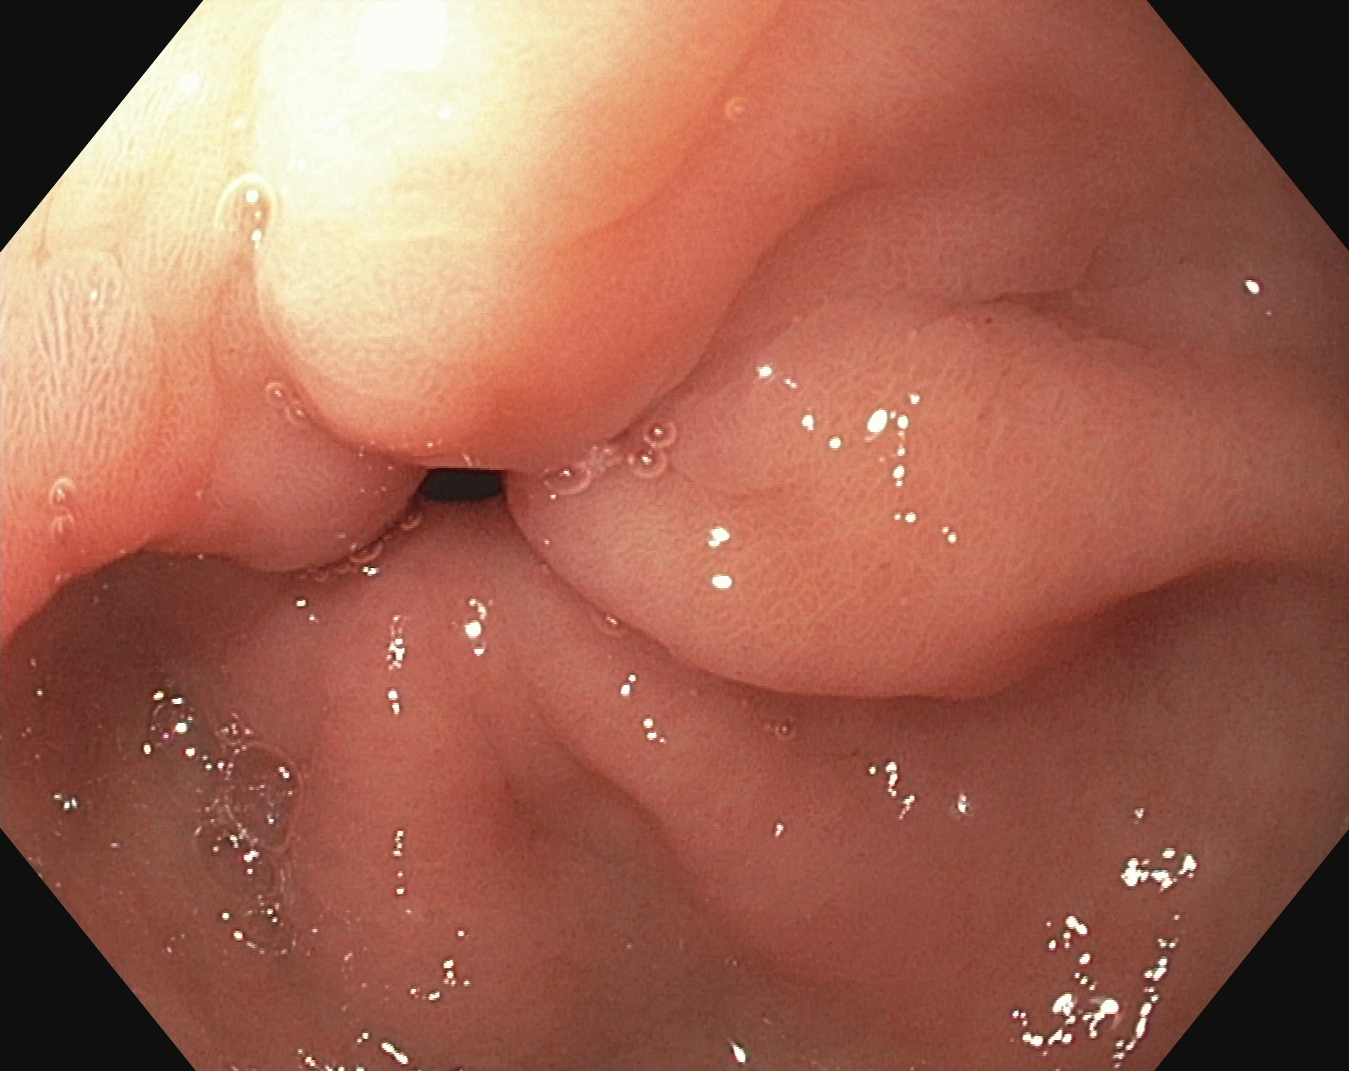Pylorus.